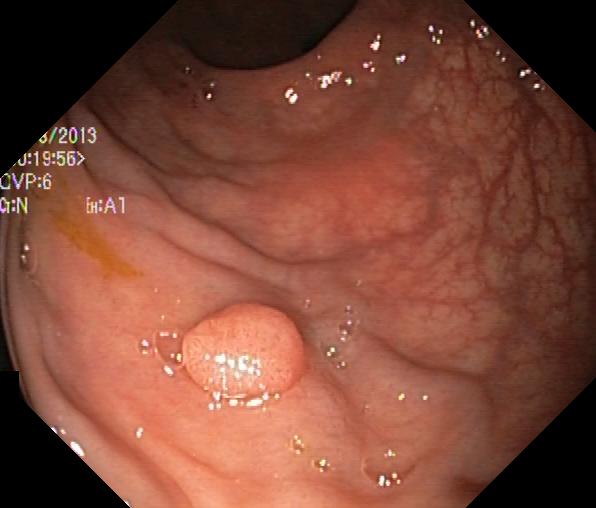modality: colonoscopy | tract: lower GI tract | finding: colorectal polyp(s)